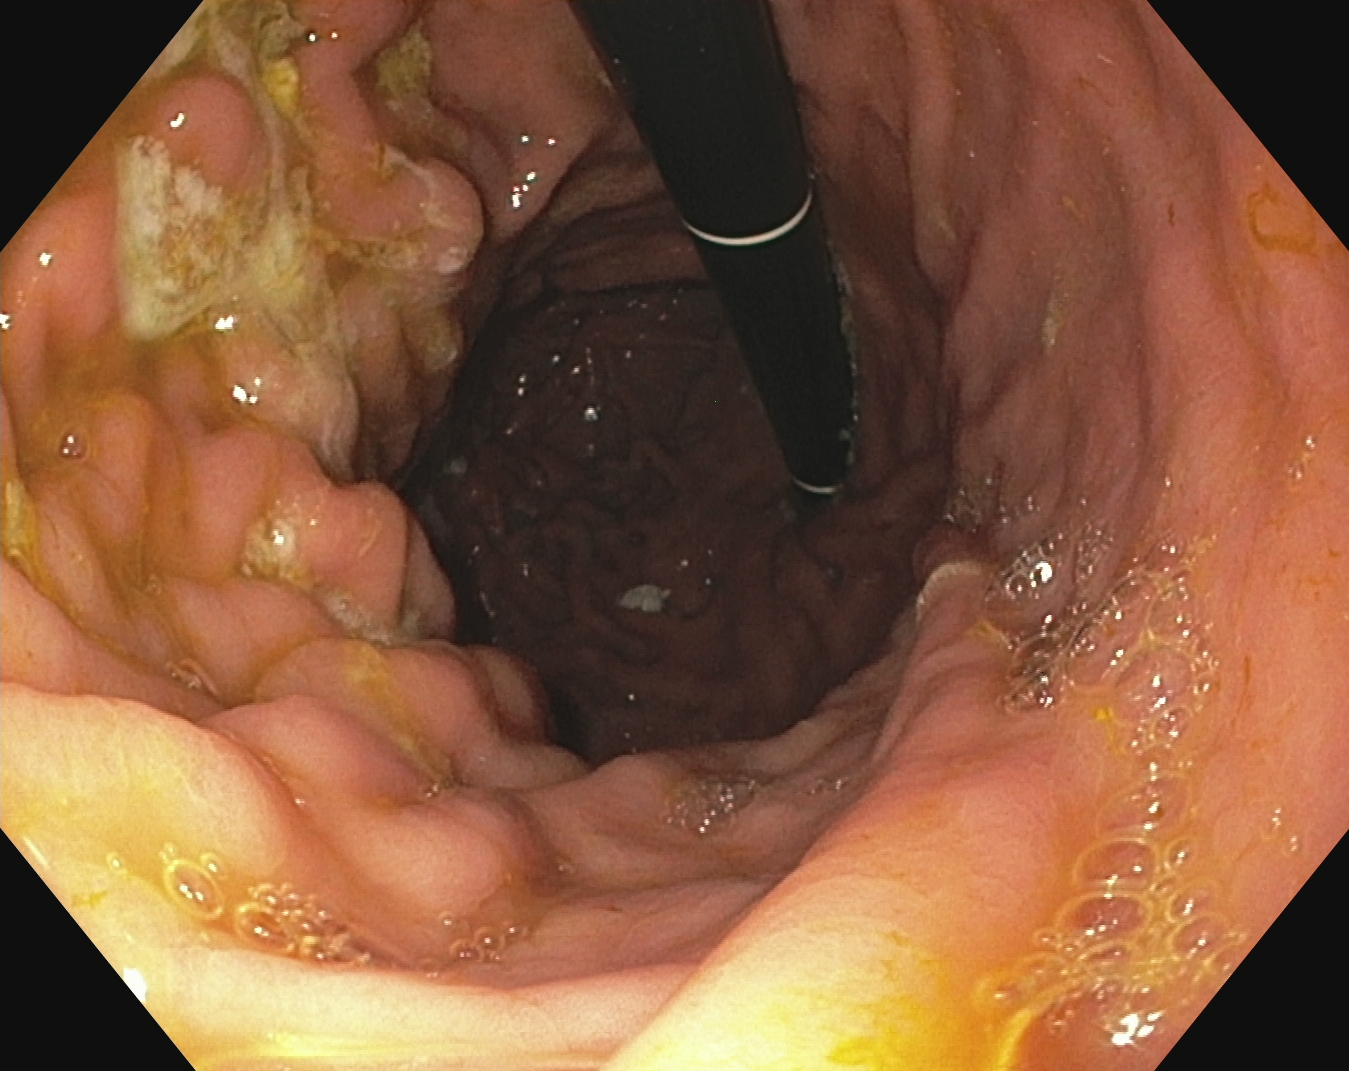EGD image of the upper GI tract showing stomach in retroflexion.